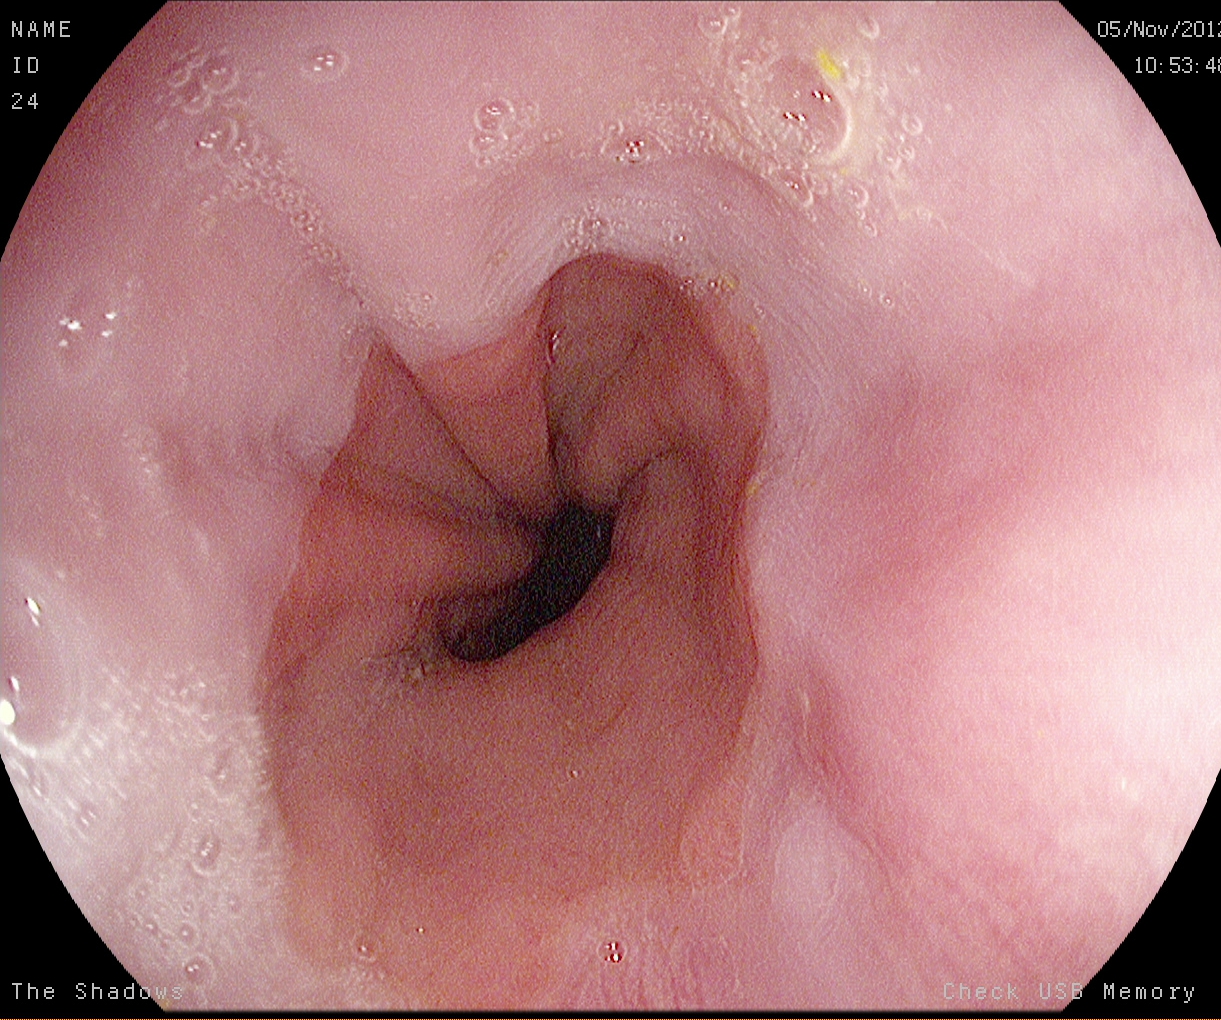This endoscopy frame shows Z-line (gastroesophageal junction).